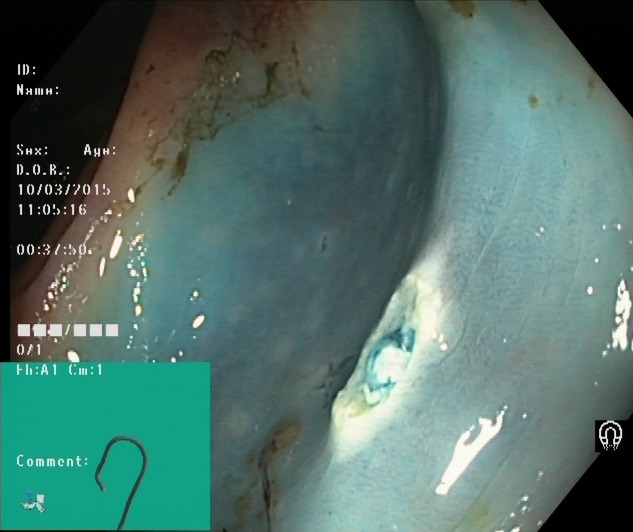Dyed resection margins (post-polypectomy).